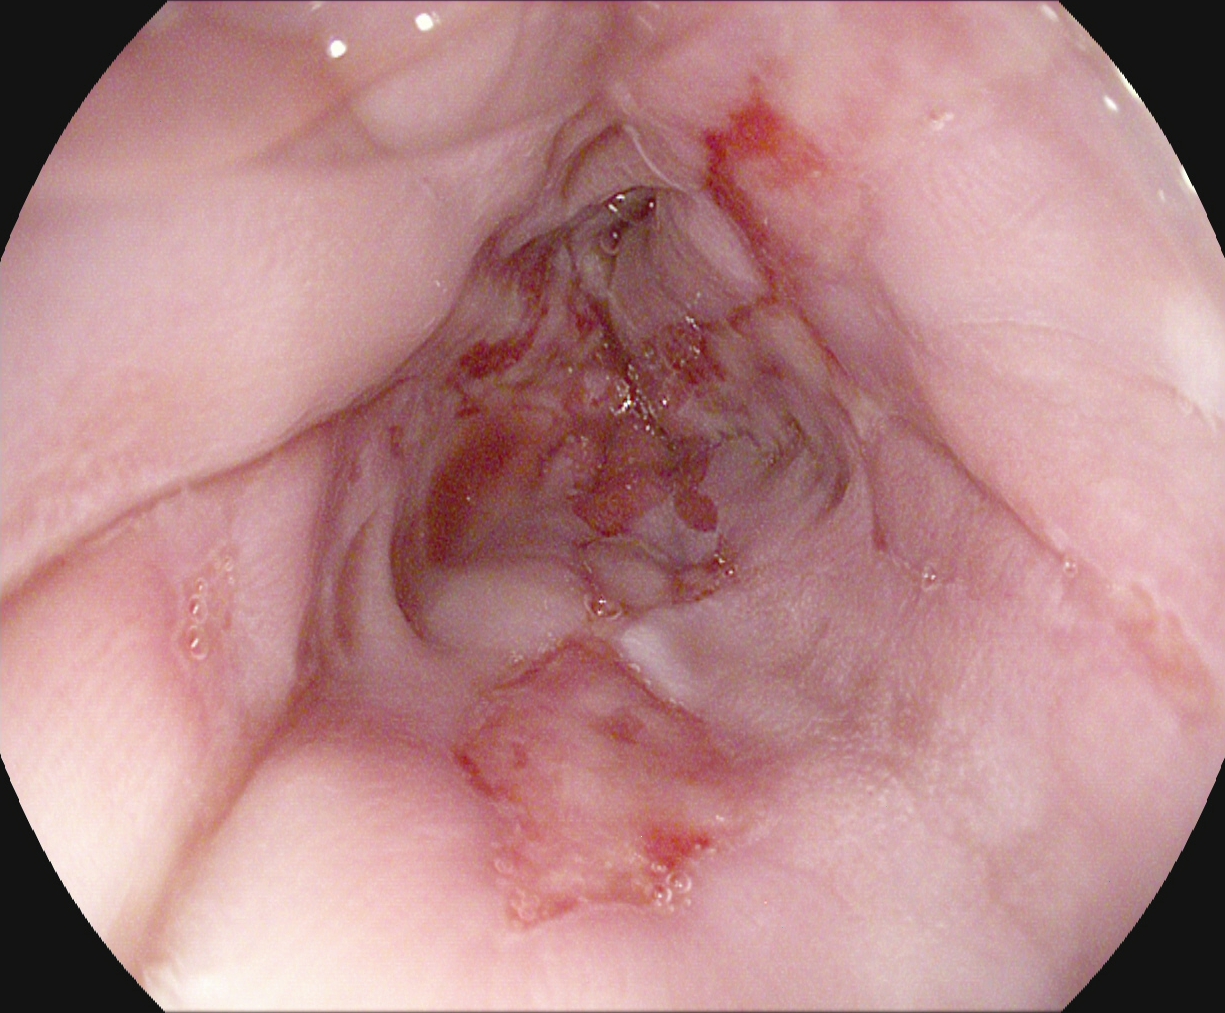Gastroscopy. Tract: upper GI tract. Finding: reflux esophagitis, LA grade B–D.